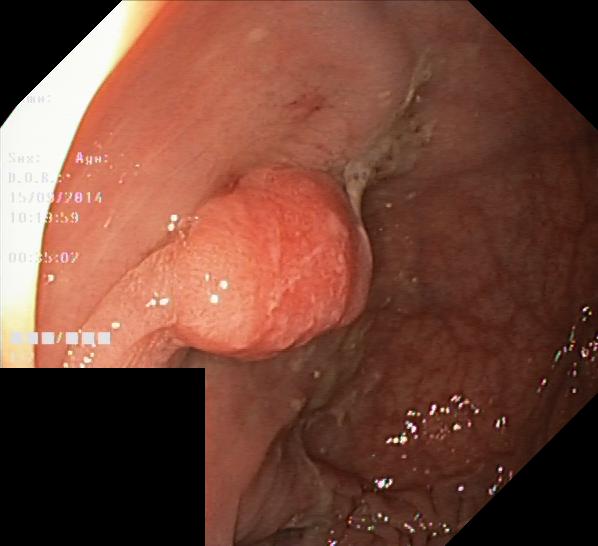colorectal polyp(s).